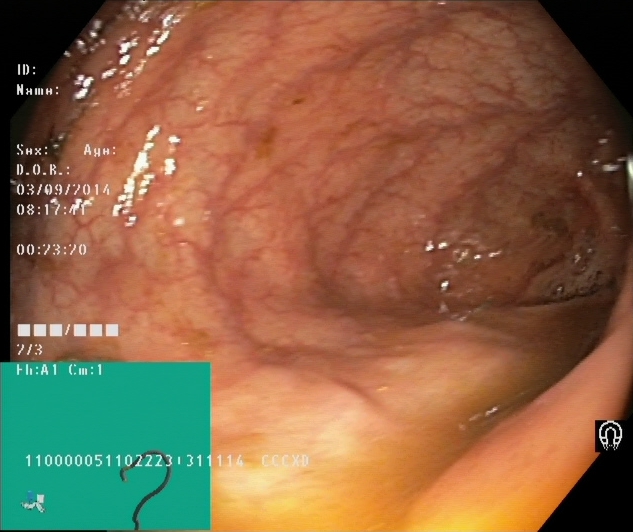{"modality": "lower gastrointestinal endoscopy", "finding": "cecum"}